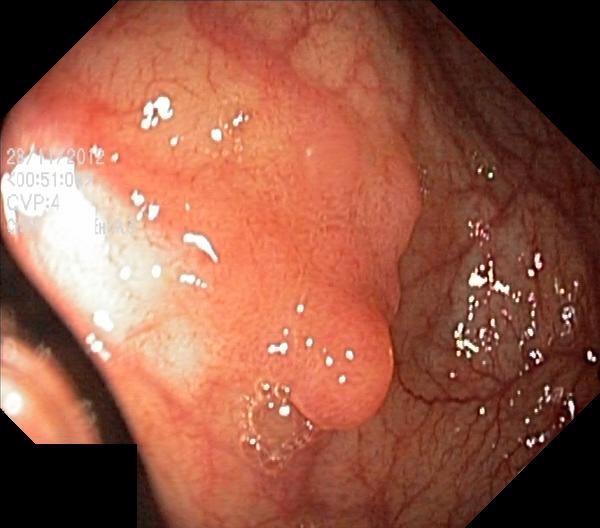This endoscopic image shows colorectal polyp(s).